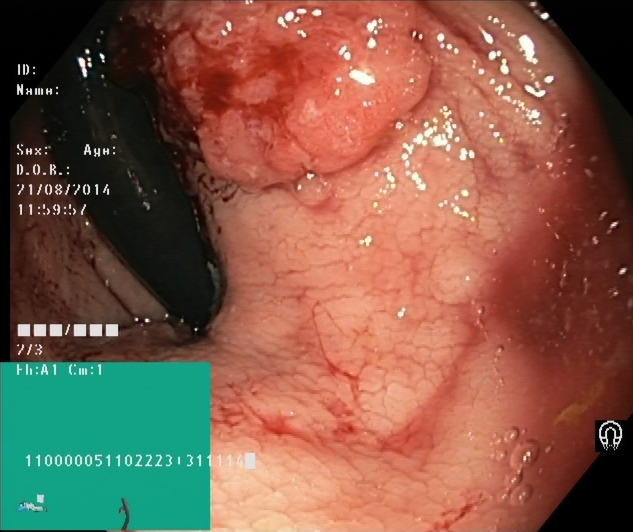PROCEDURE: Colonoscopy.
FINDINGS: Colorectal polyp(s).